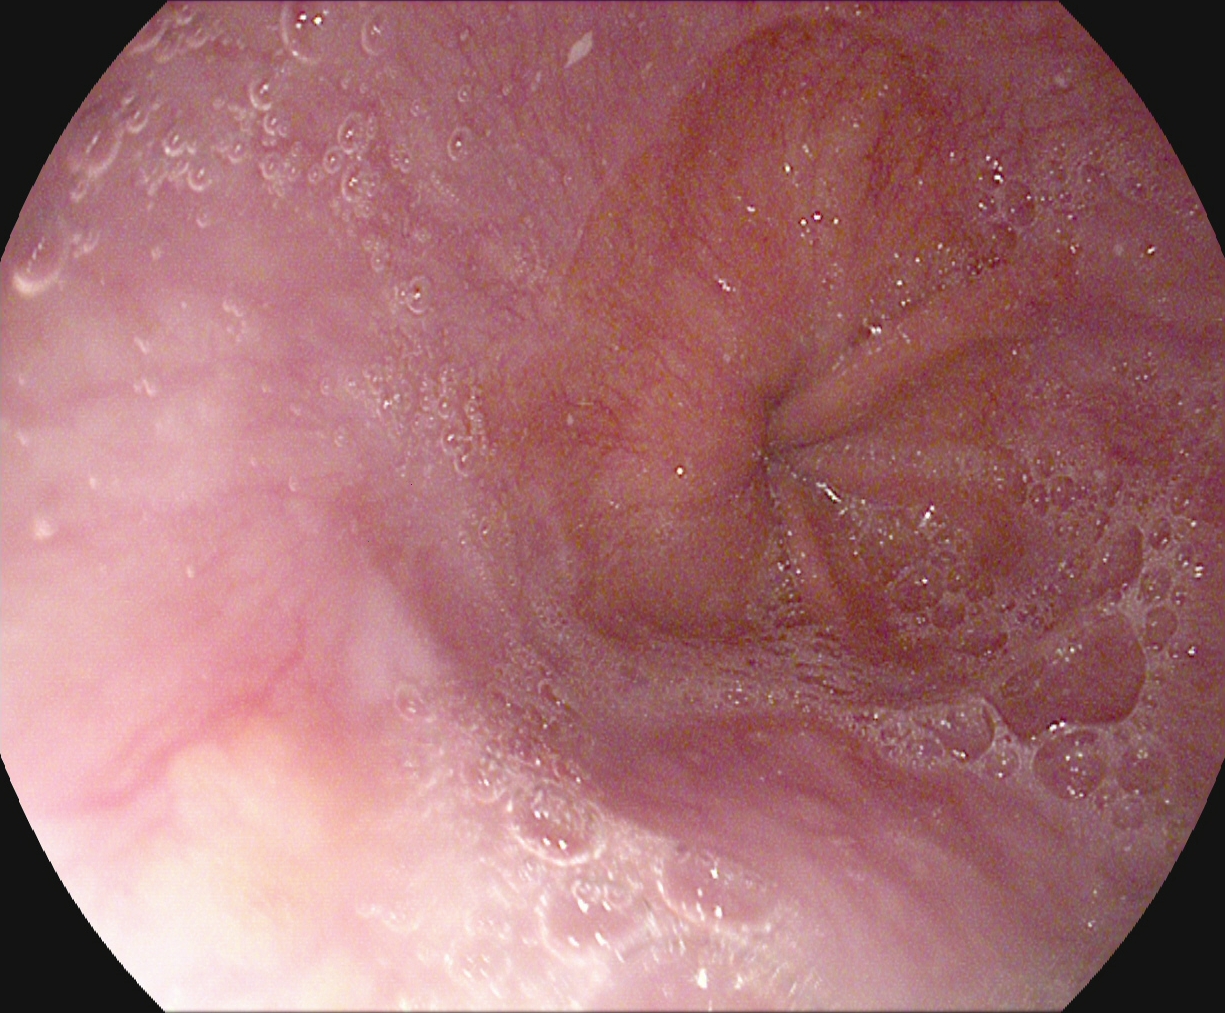{"modality": "gastroscopy", "category": "pathological finding", "finding": "Barrett's esophagus, short segment"}